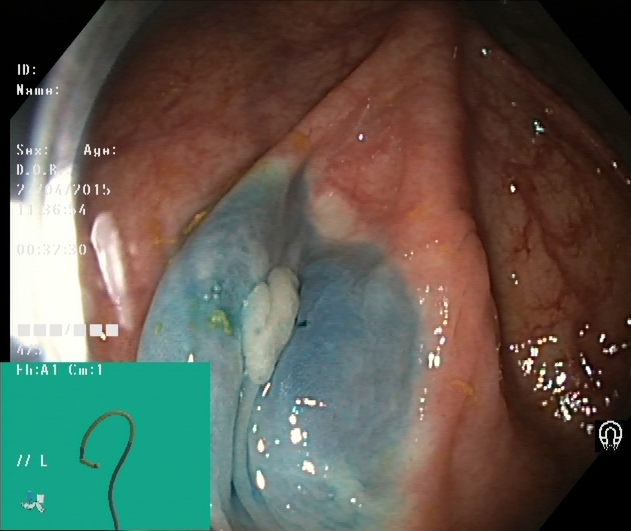Colonoscopy — dyed and lifted polyp (pre-resection).